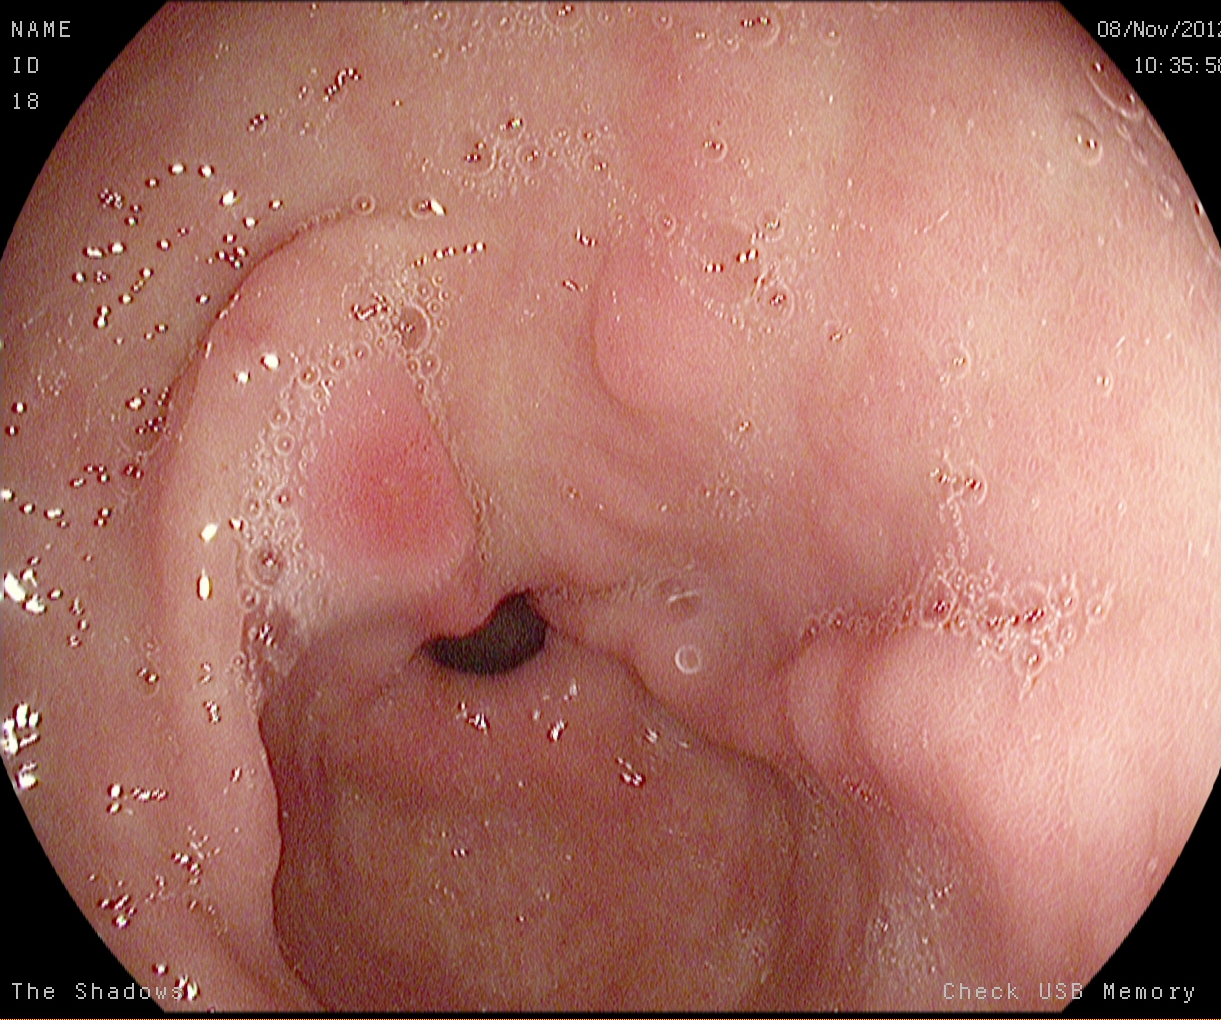{"modality": "EGD", "tract": "upper GI tract", "category": "anatomical landmark", "finding": "pylorus"}